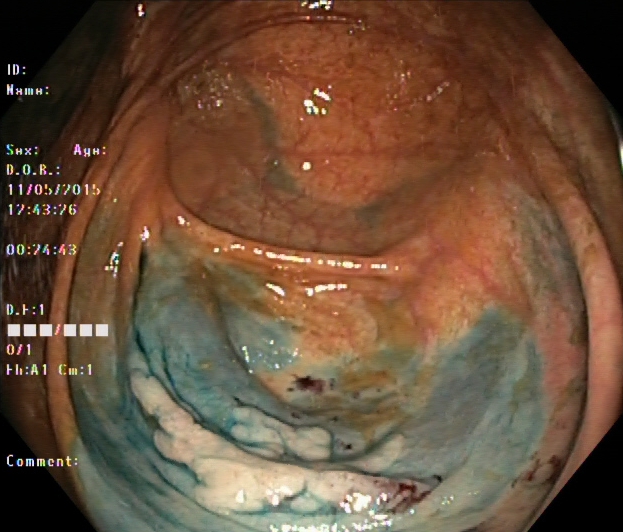This endoscopy frame of the lower GI tract shows dyed and lifted polyp (pre-resection).